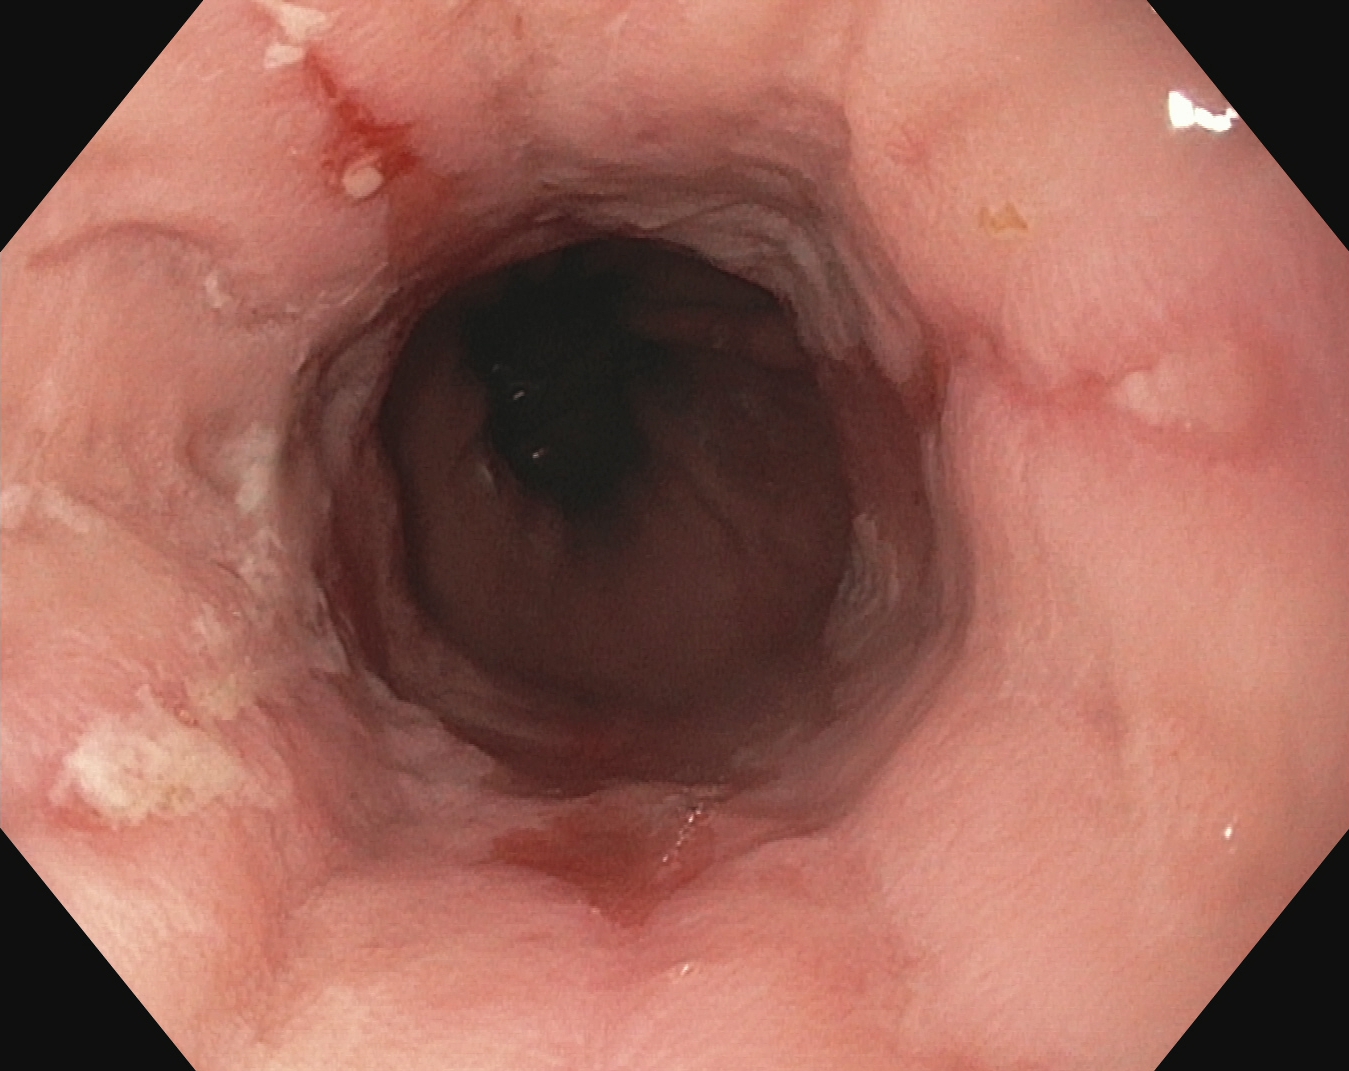Reflux esophagitis, Los Angeles grade B–D.